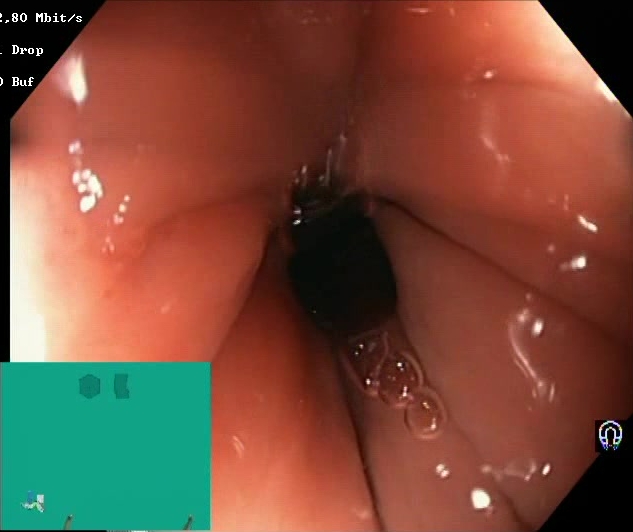Endoscopy image of the lower GI tract showing Boston Bowel Preparation Scale score 2–3 (adequate preparation).